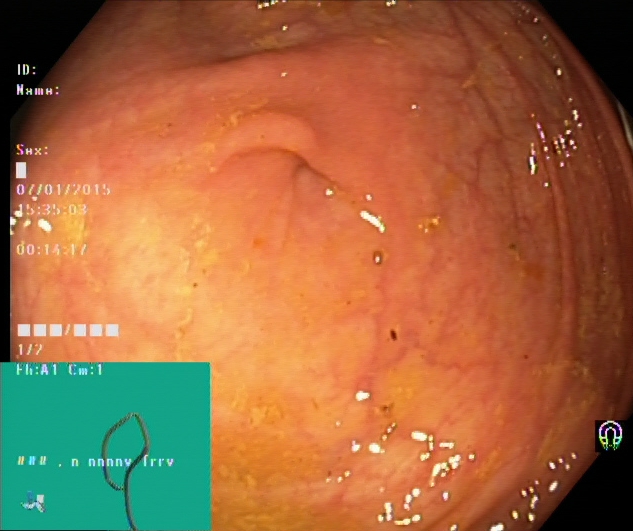Cecum.